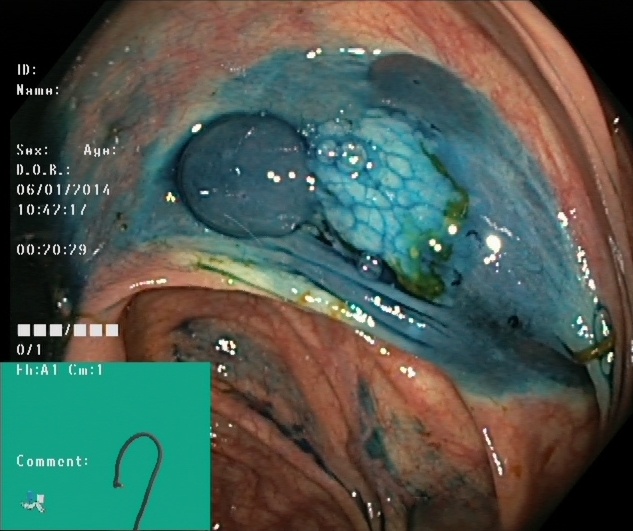modality: colonoscopy; finding: dyed and lifted polyp (pre-resection)